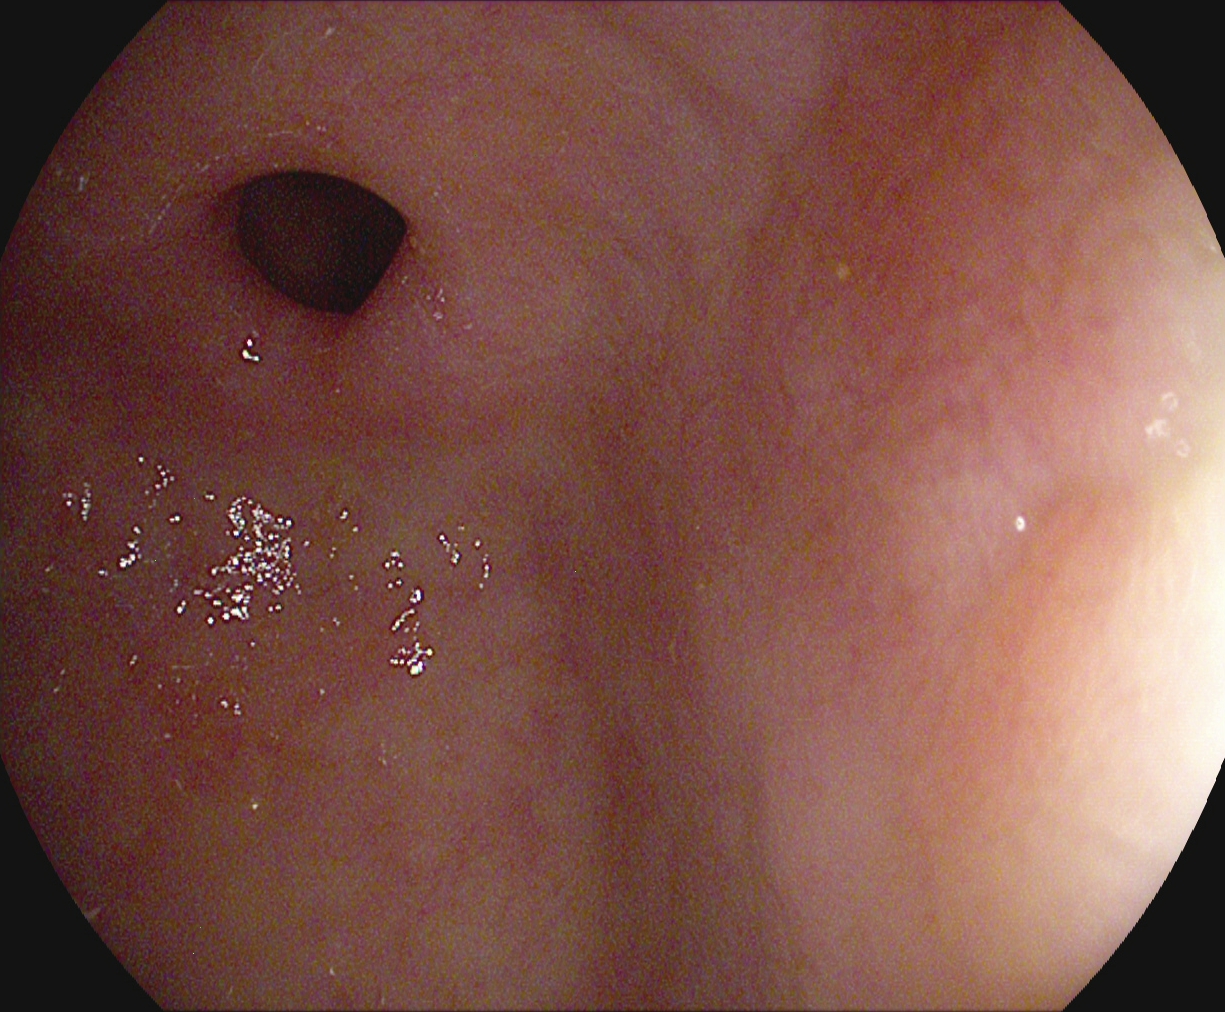modality: upper-GI endoscopy; category: anatomical landmark; finding: pylorus